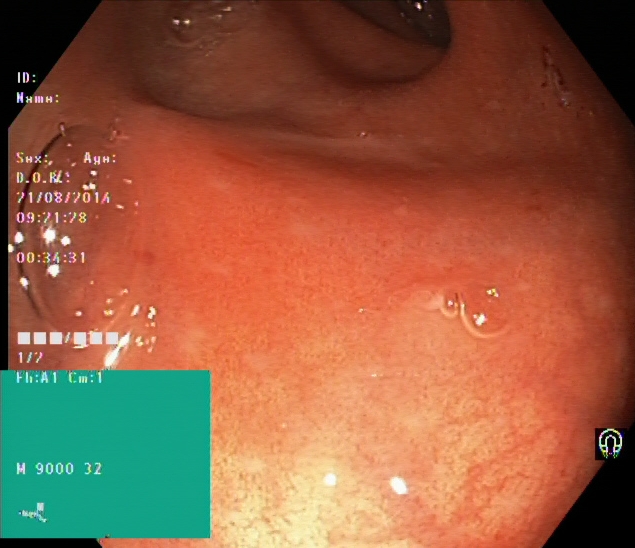PROCEDURE: Lower gastrointestinal endoscopy.
CATEGORY: Pathological finding.
FINDINGS: Ulcerative colitis, Mayo endoscopic subscore 2.